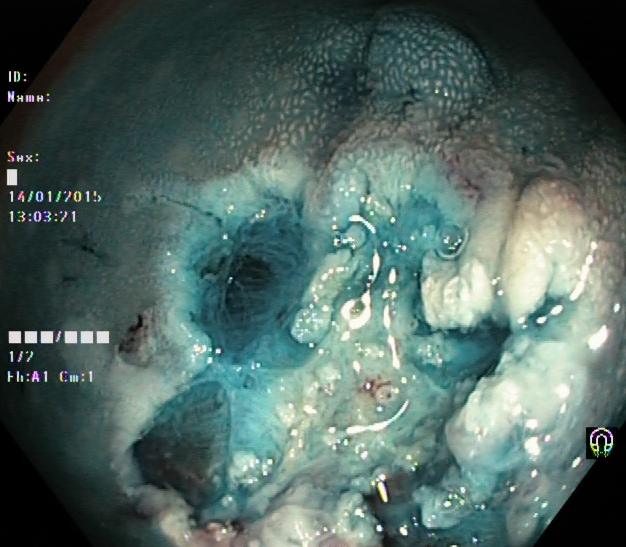This endoscopy frame of the lower GI tract shows dyed resection margins (post-polypectomy).